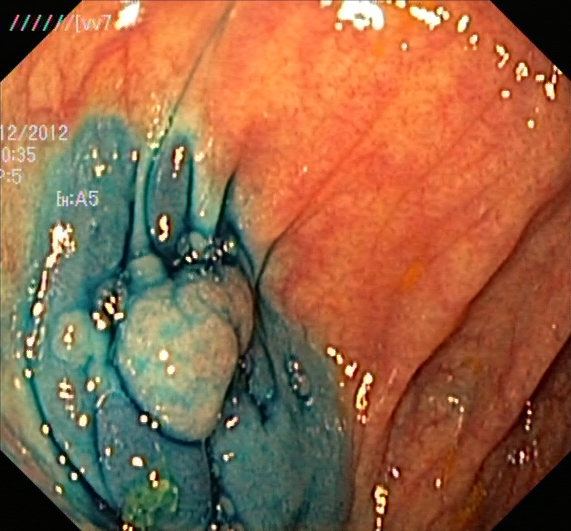This endoscopy frame shows dyed and lifted polyp (pre-resection).